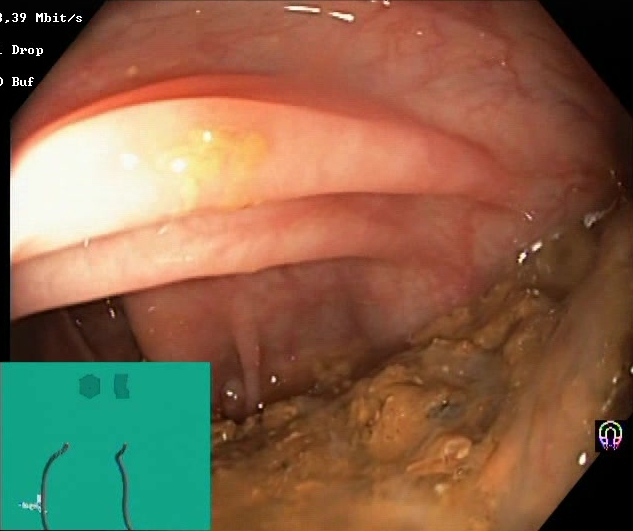PROCEDURE: Lower-GI endoscopy.
FINDINGS: Boston Bowel Preparation Scale score 0–1 (inadequate preparation).